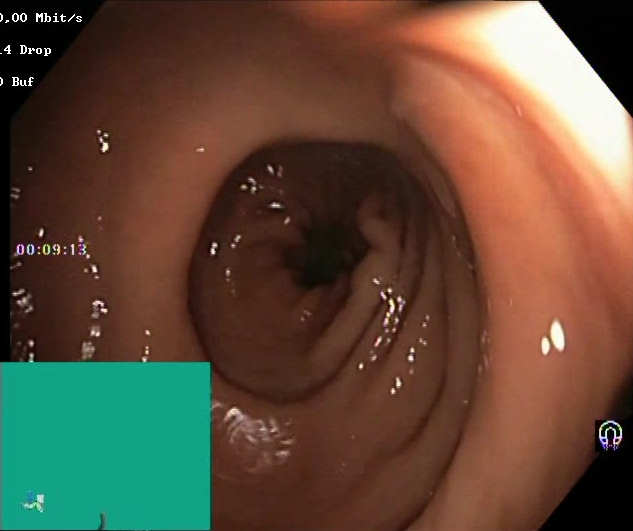BBPS score 2–3 (adequate preparation).